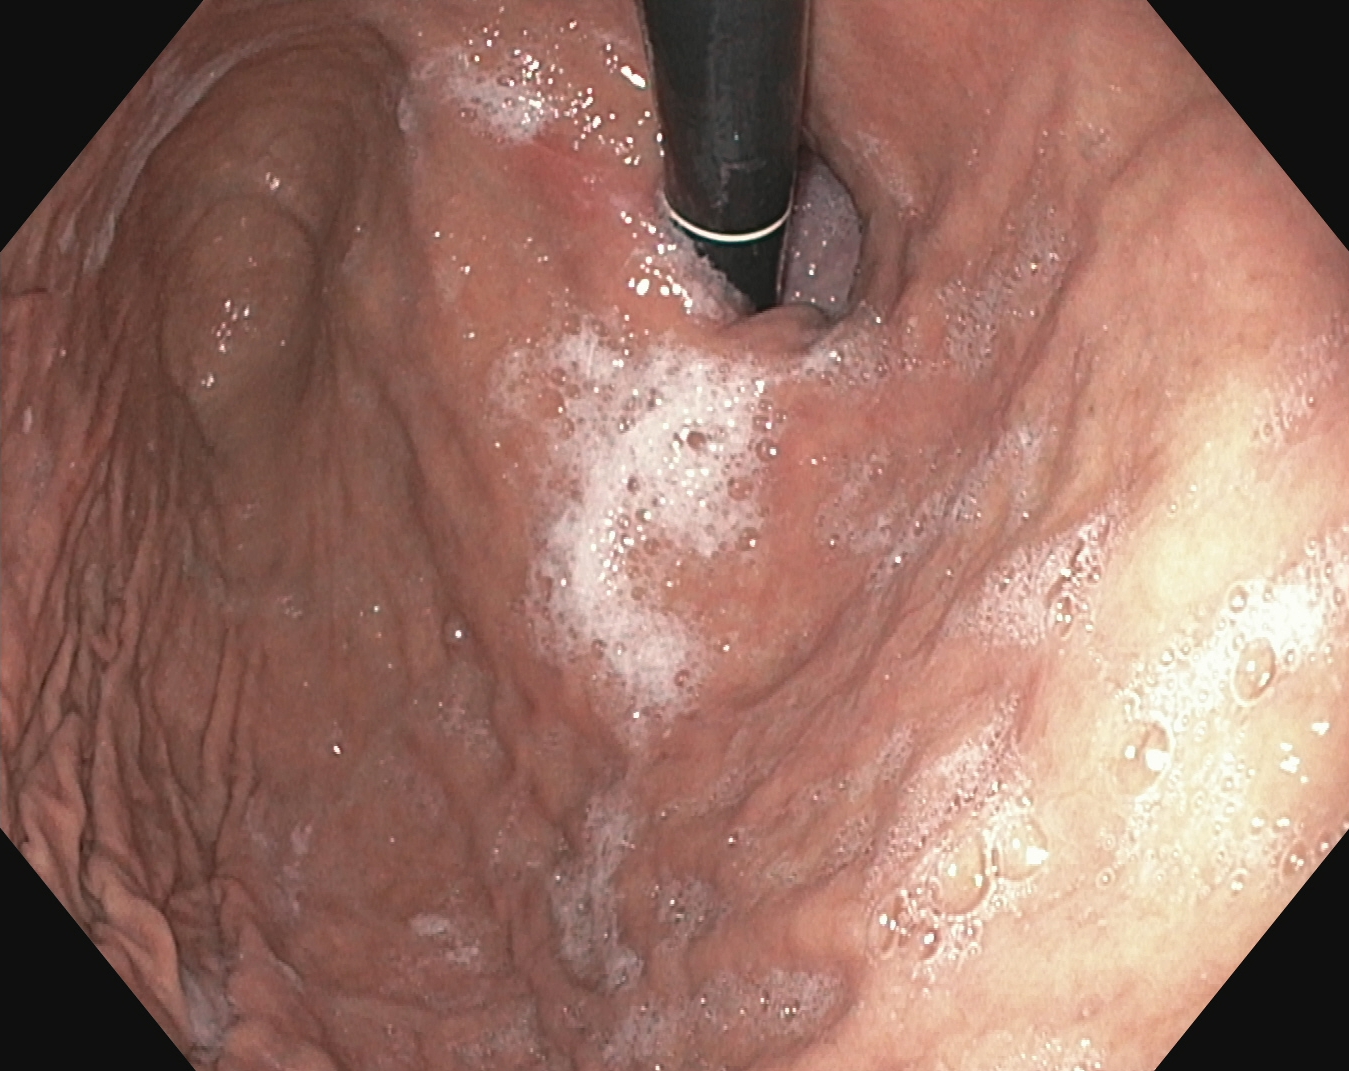This endoscopy frame of the upper GI tract shows stomach in retroflexion.